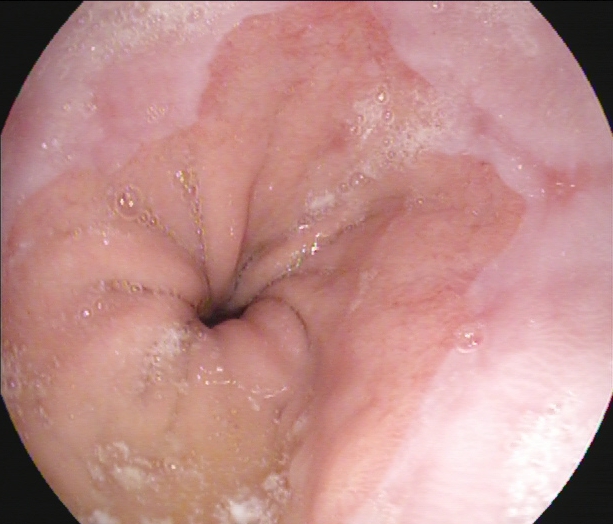Endoscopic image of the upper GI tract showing Barrett's esophagus, short segment.